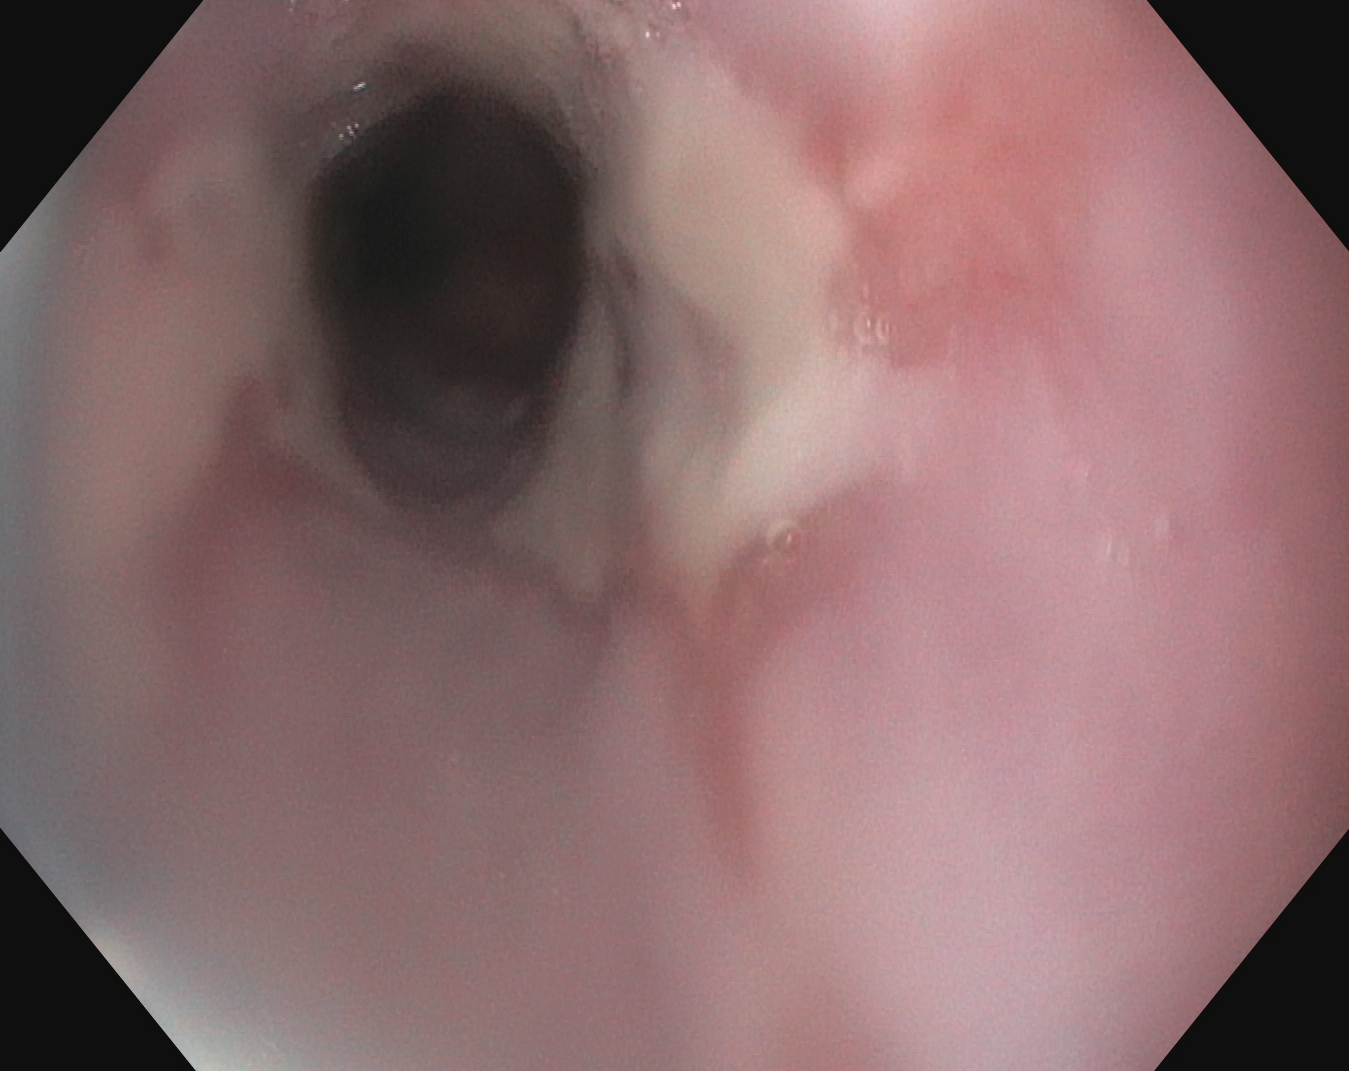GI endoscopy image of the upper GI tract showing reflux esophagitis, LA grade B–D.